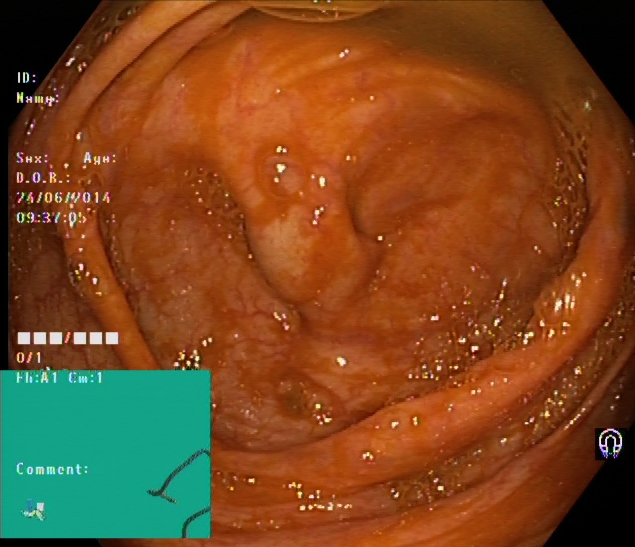Cecum.